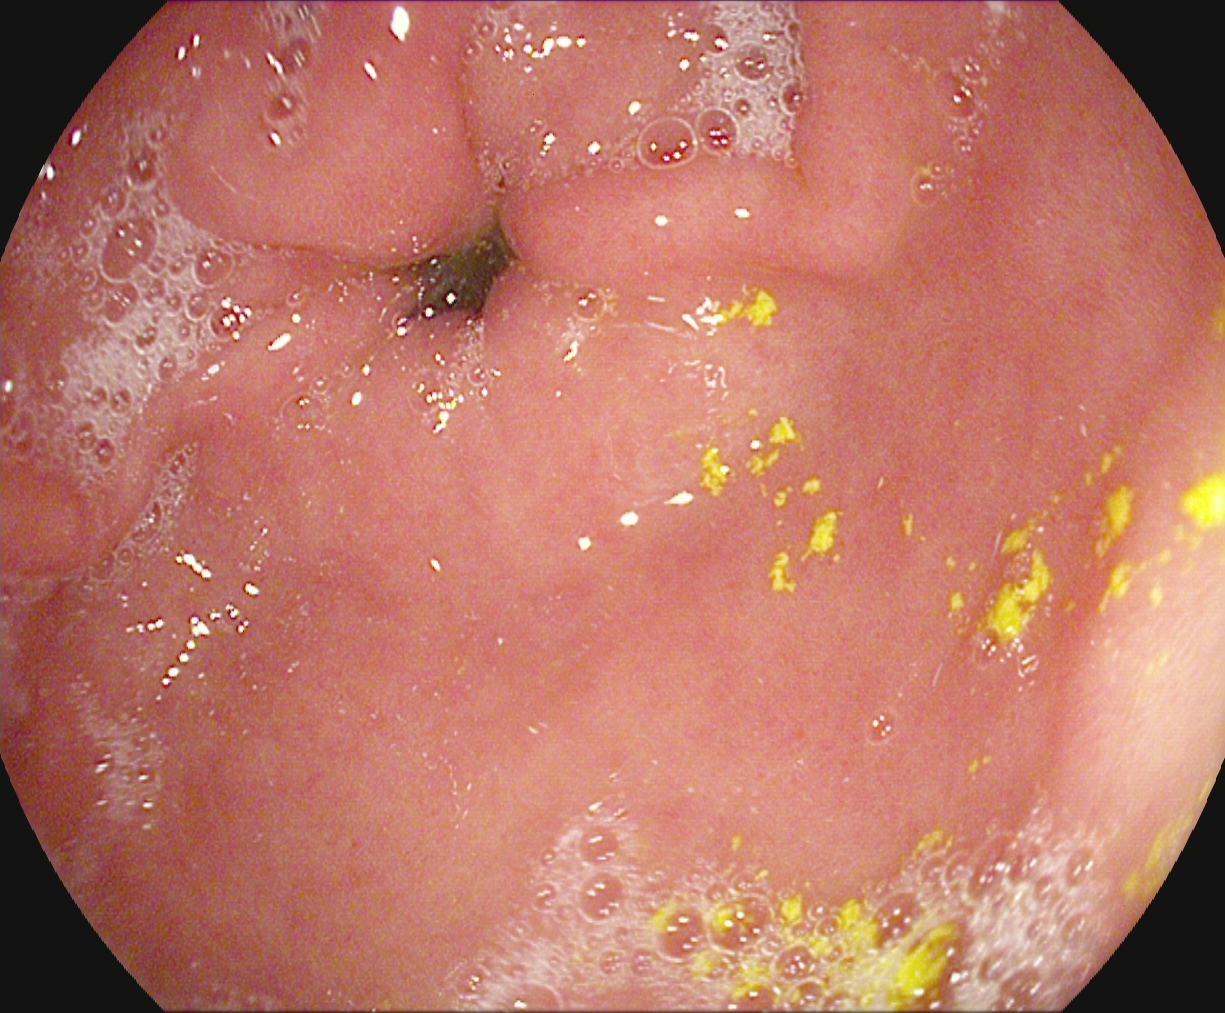PROCEDURE: EGD.
CATEGORY: Anatomical landmark.
FINDINGS: Pylorus.